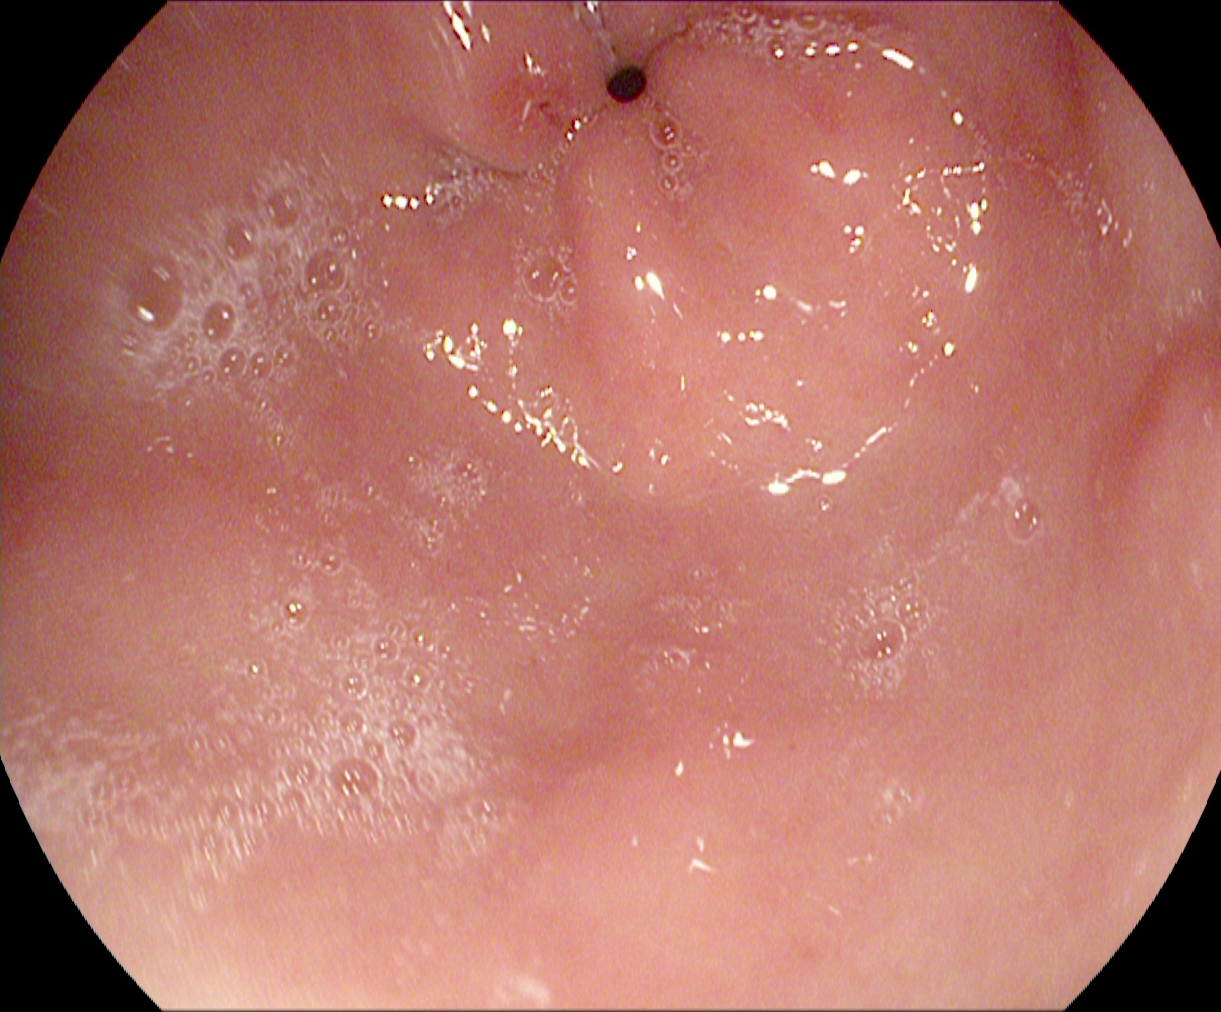PROCEDURE: EGD.
FINDINGS: Pylorus.